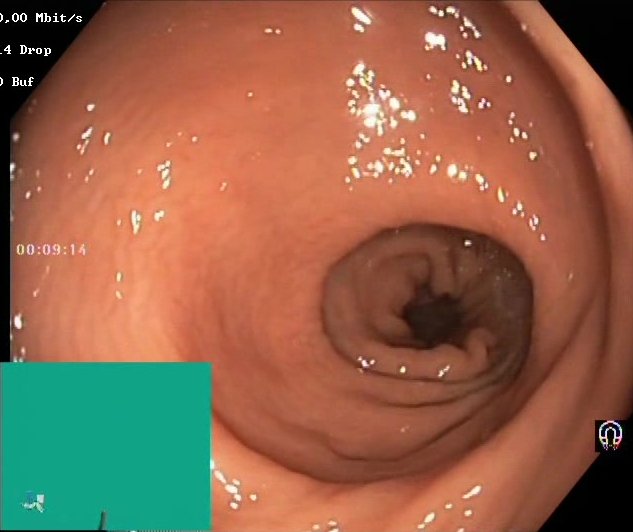Lower-GI endoscopy — BBPS score 2–3 (adequate preparation).